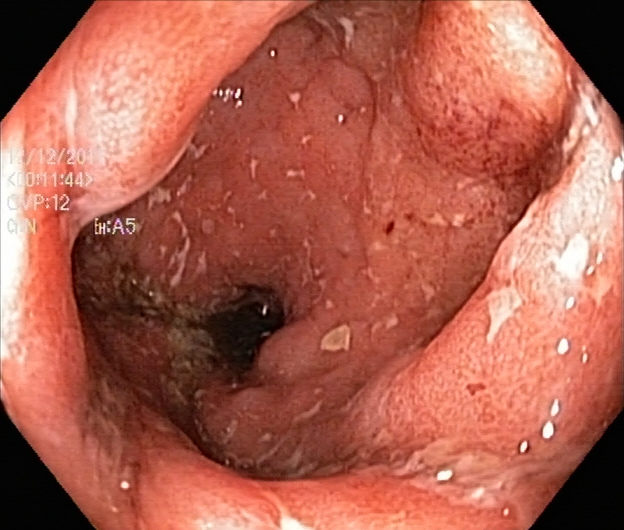Lower-GI endoscopy image showing UC, Mayo endoscopic subscore 2.